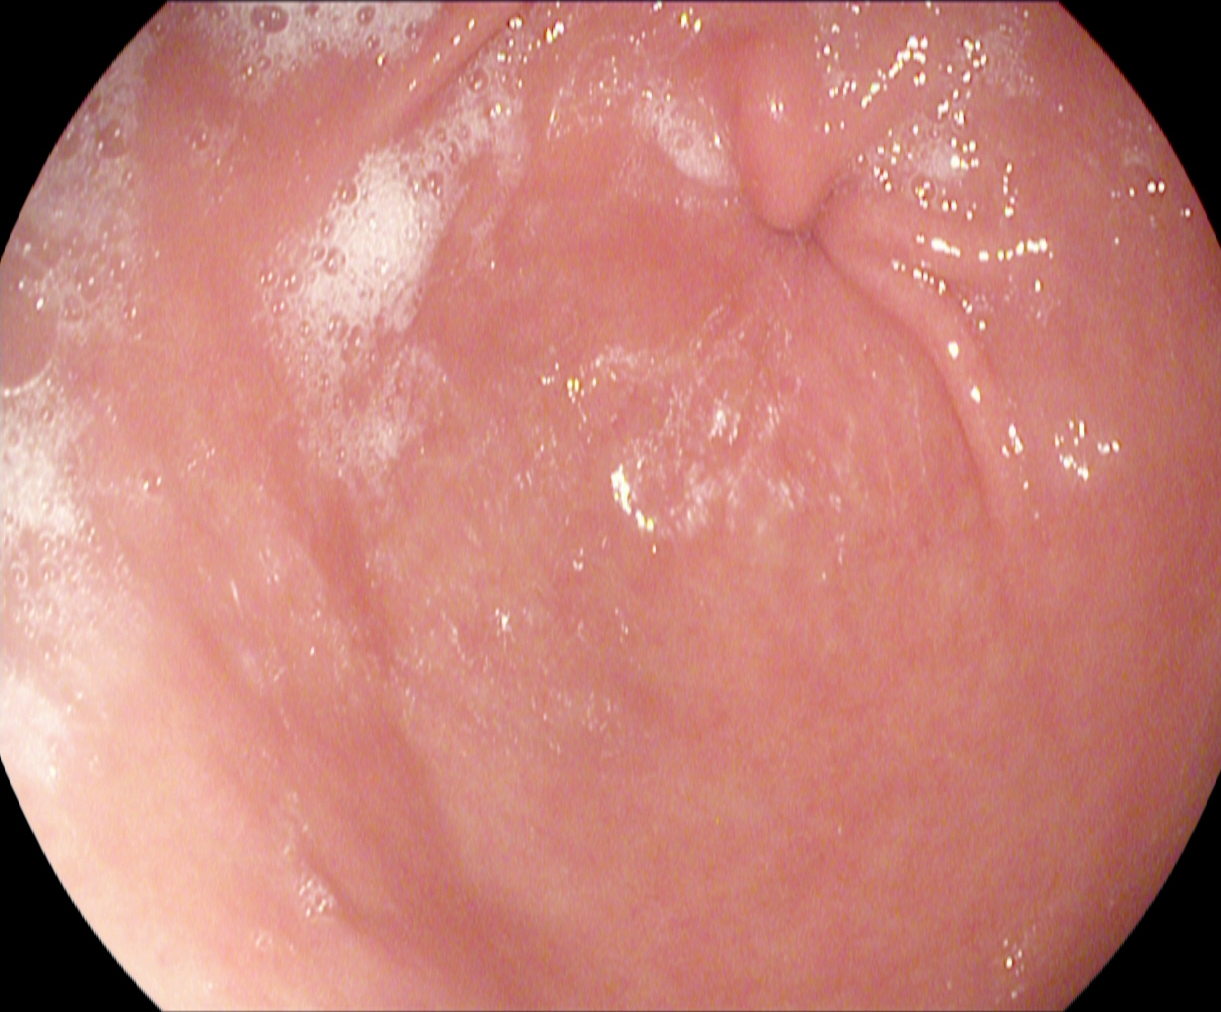This endoscopy frame of the upper GI tract shows pylorus.